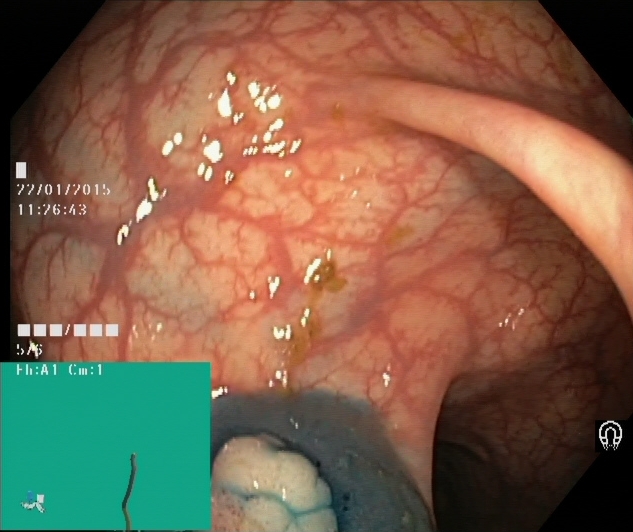modality: colonoscopy; tract: lower GI tract; category: therapeutic intervention; finding: dyed and lifted polyp (pre-resection)